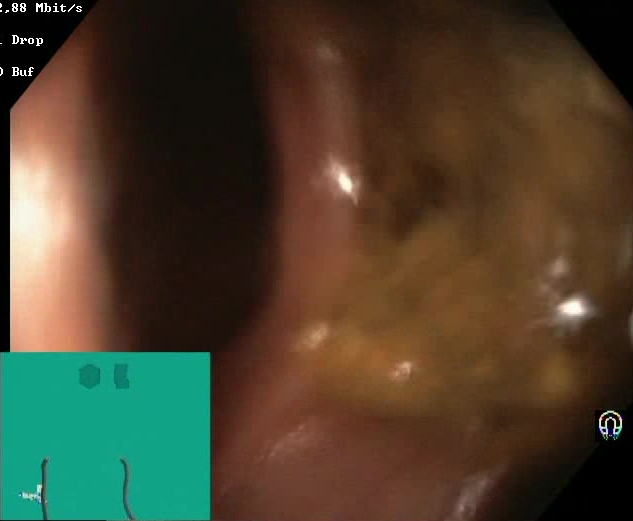Boston Bowel Preparation Scale score 0–1 (inadequate preparation).